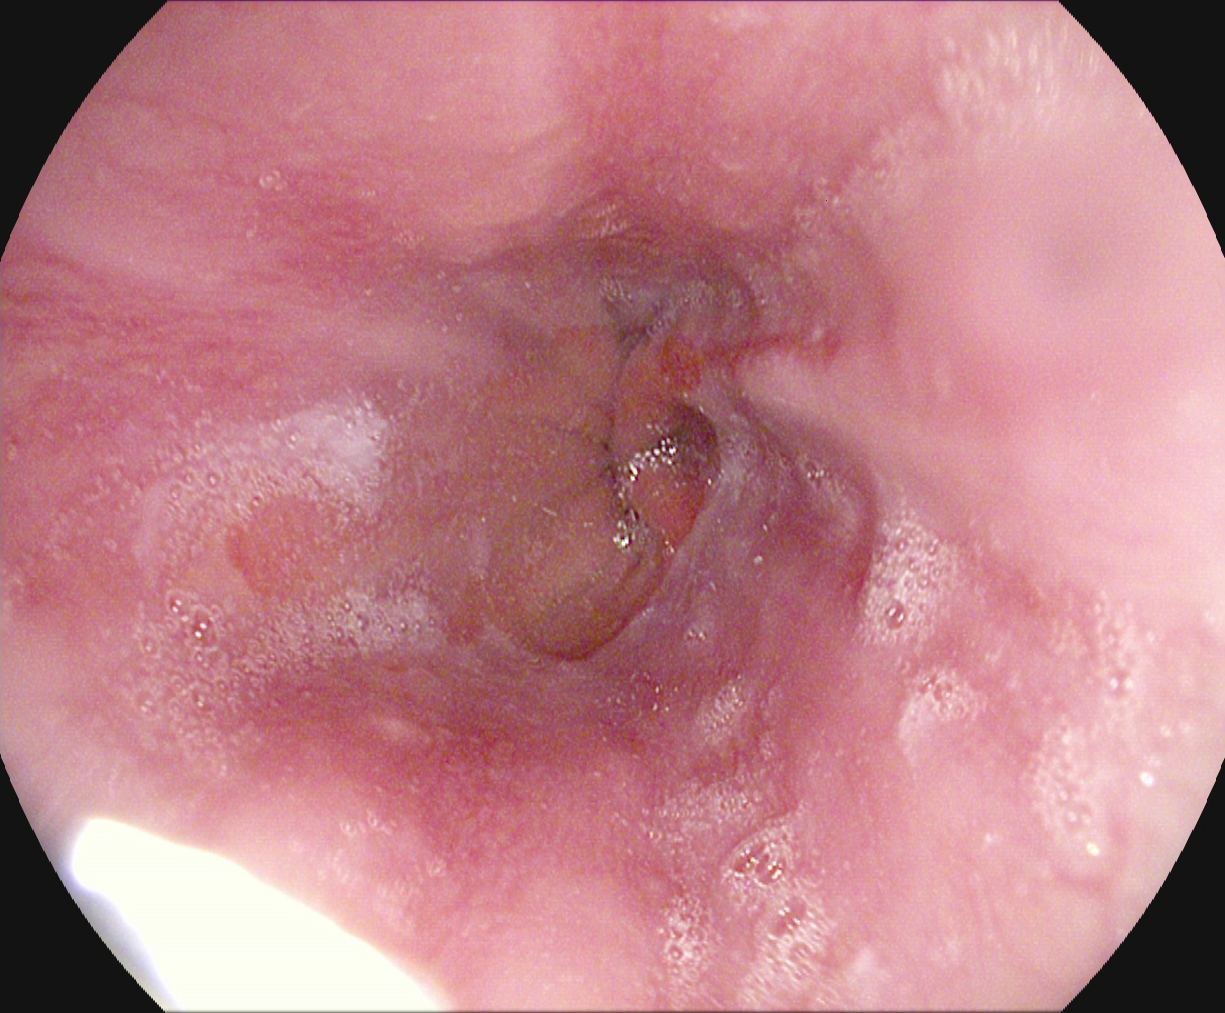Reflux esophagitis, LA grade A.